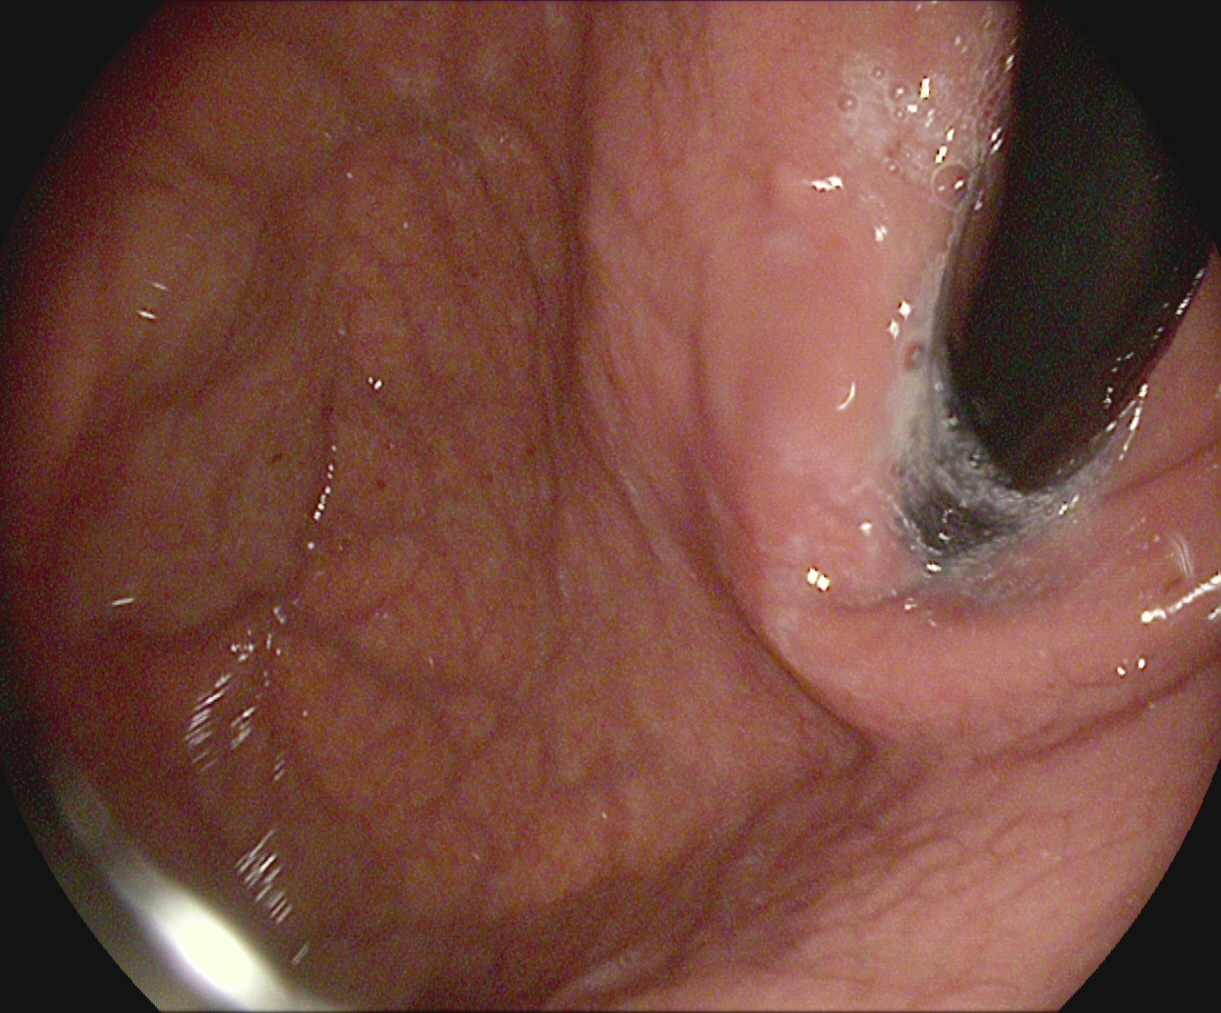This endoscopic image shows stomach in retroflexion.